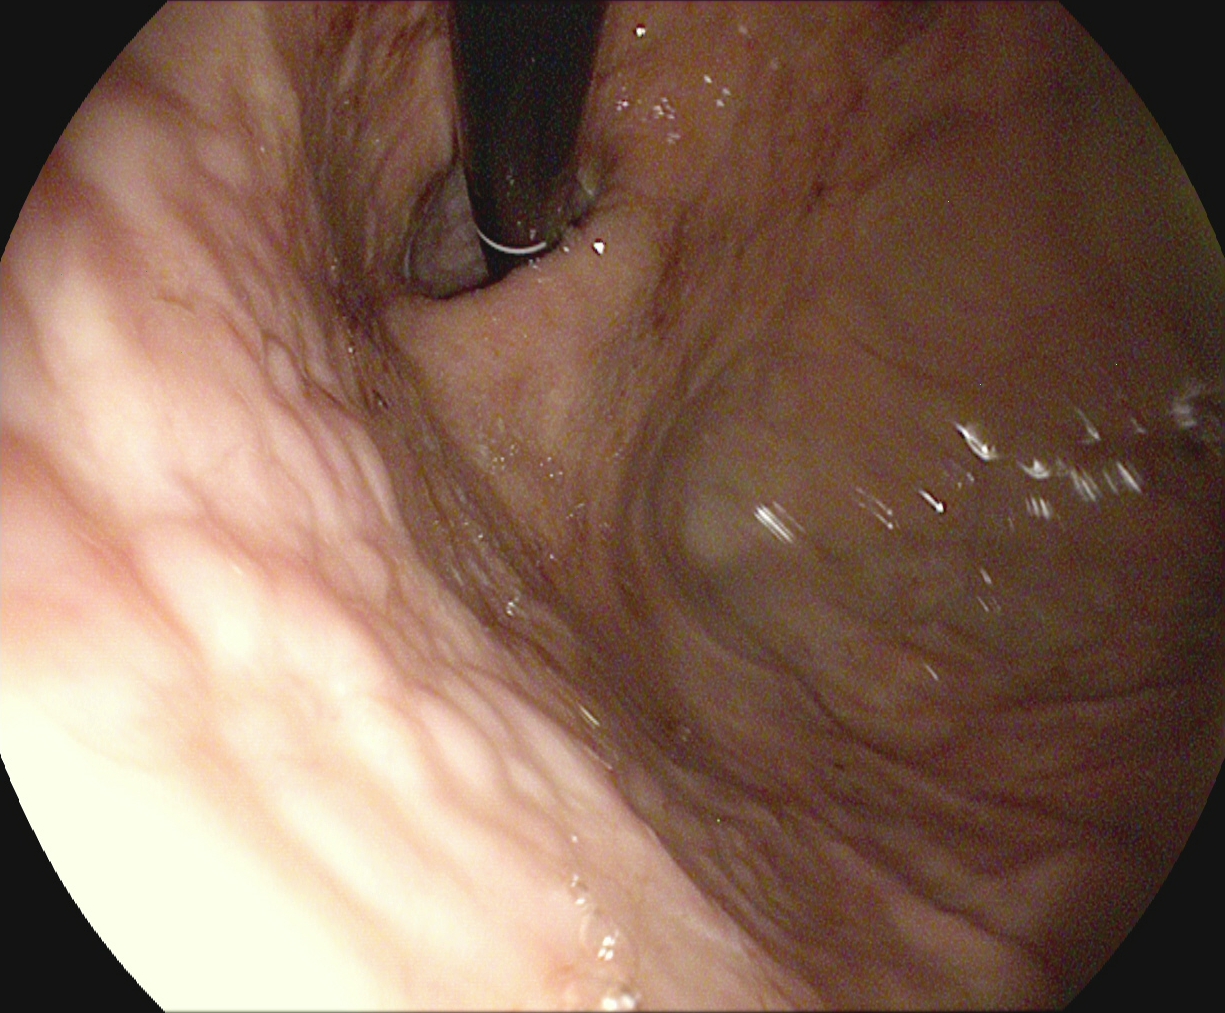modality: esophagogastroduodenoscopy
tract: upper GI tract
category: anatomical landmark
finding: stomach in retroflexion